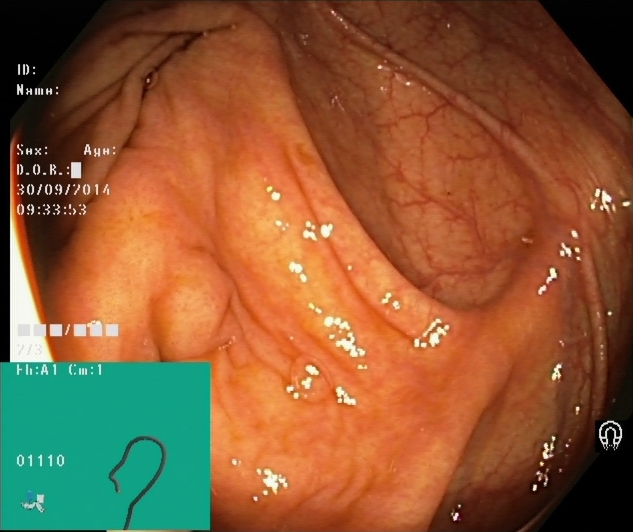modality: lower gastrointestinal endoscopy
tract: lower GI tract
finding: cecum